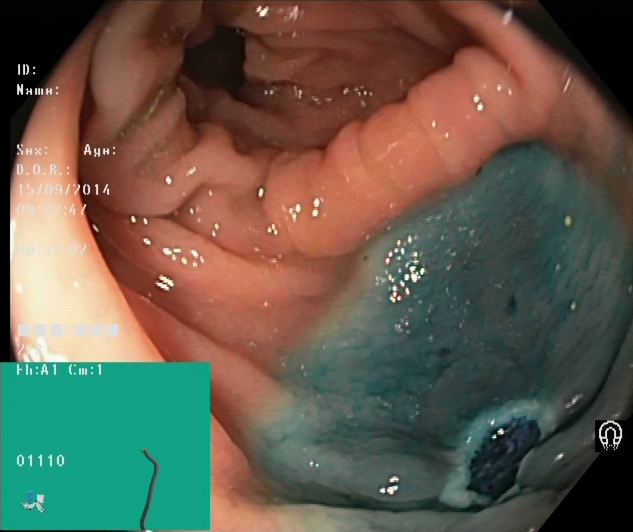modality: lower gastrointestinal endoscopy | finding: dyed resection margins (post-polypectomy)